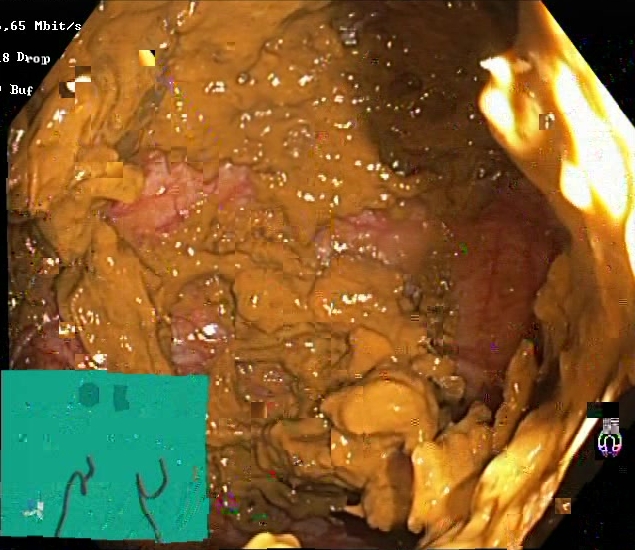Lower-GI endoscopy. Mucosal-view quality. Finding: Boston Bowel Preparation Scale score 0–1 (inadequate preparation).